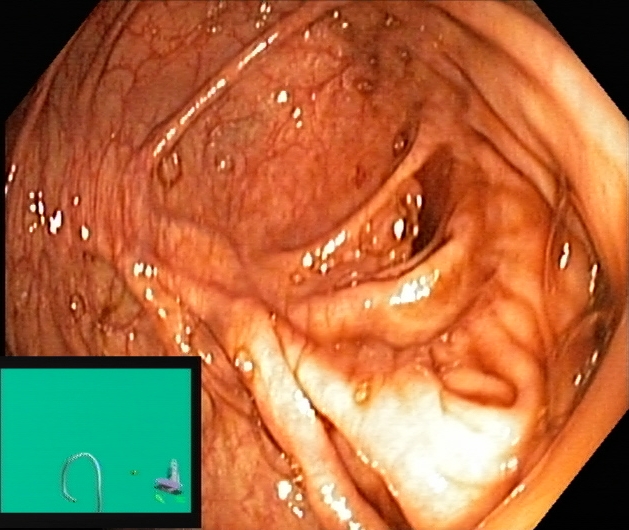This endoscopic image of the lower GI tract shows cecum.